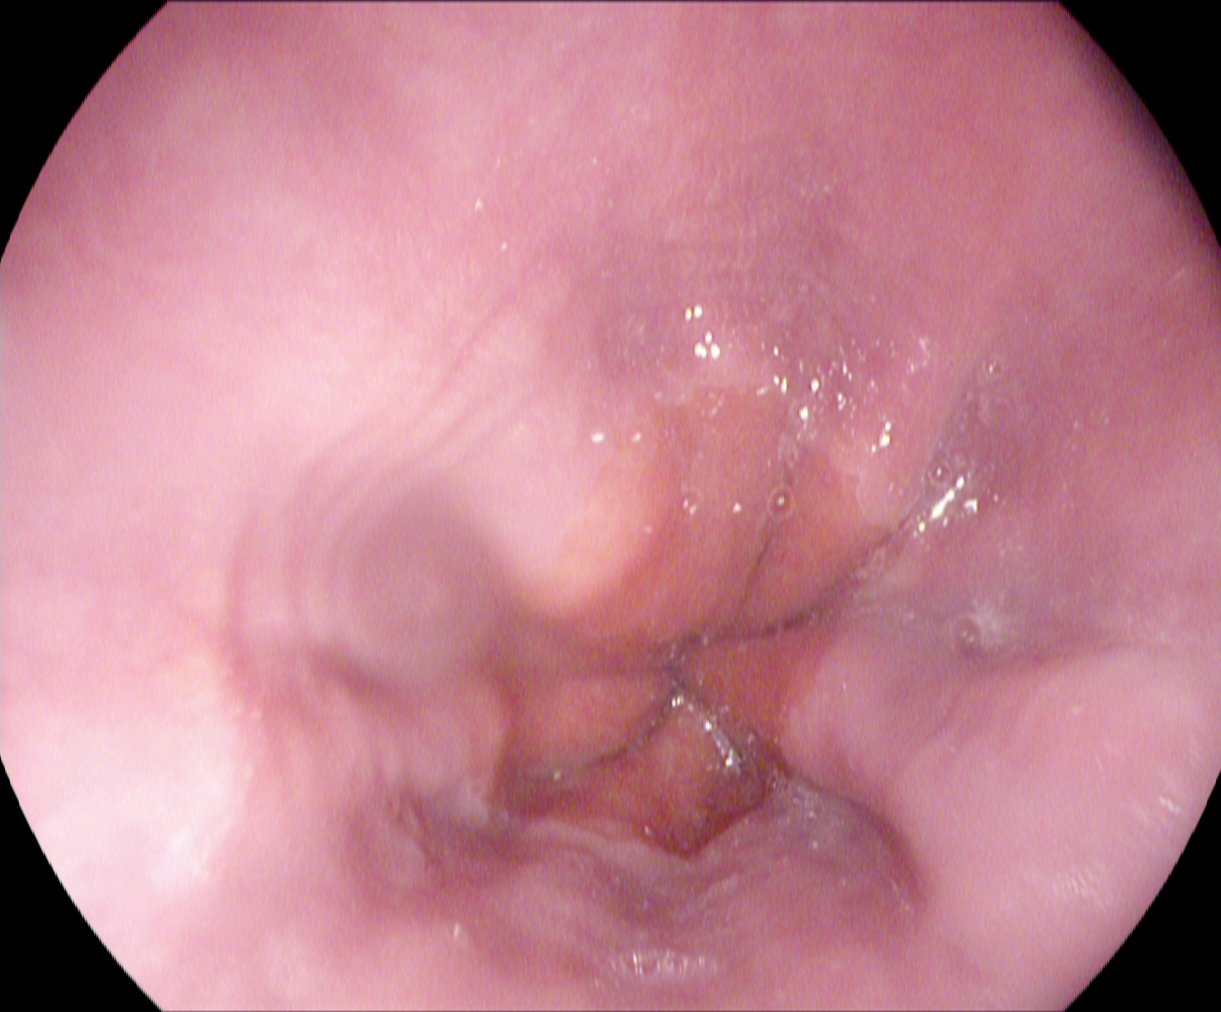EGD. Anatomical landmark. Finding: Z-line (gastroesophageal junction).